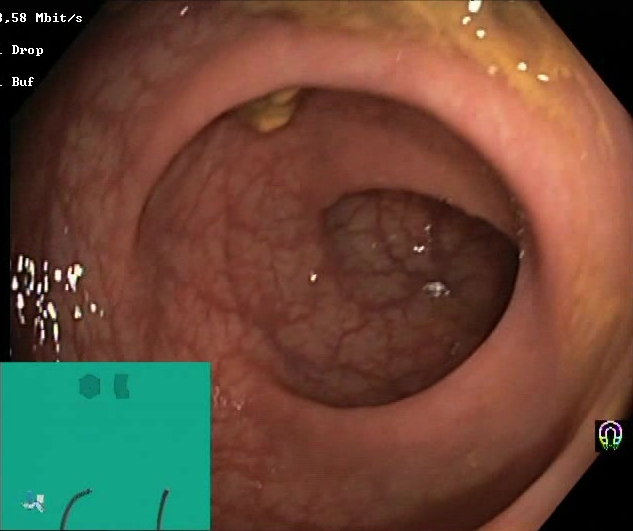PROCEDURE: Lower gastrointestinal endoscopy.
CATEGORY: Mucosal-view quality.
FINDINGS: Boston Bowel Preparation Scale score 2–3 (adequate preparation).